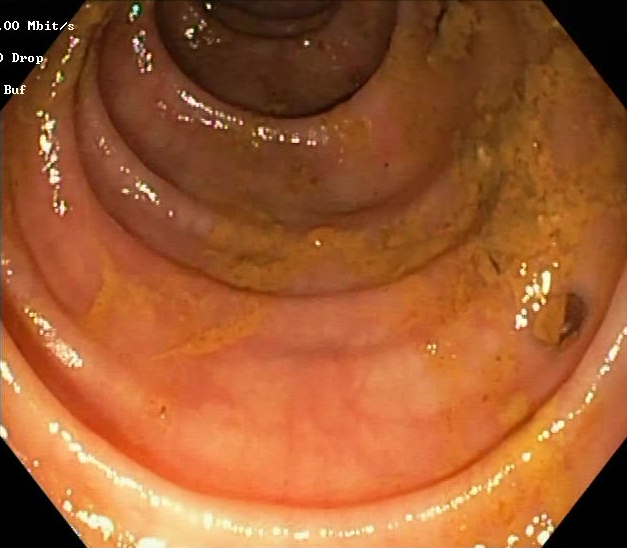Lower-GI endoscopy image showing BBPS score 0–1 (inadequate preparation).